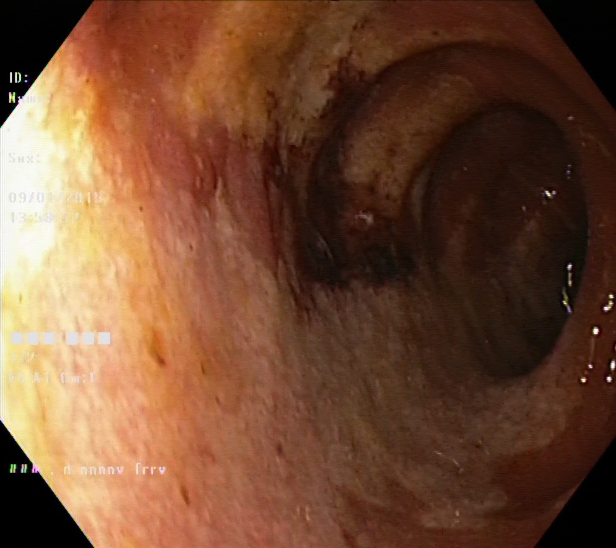Ulcerative colitis, Mayo endoscopic subscore 1.